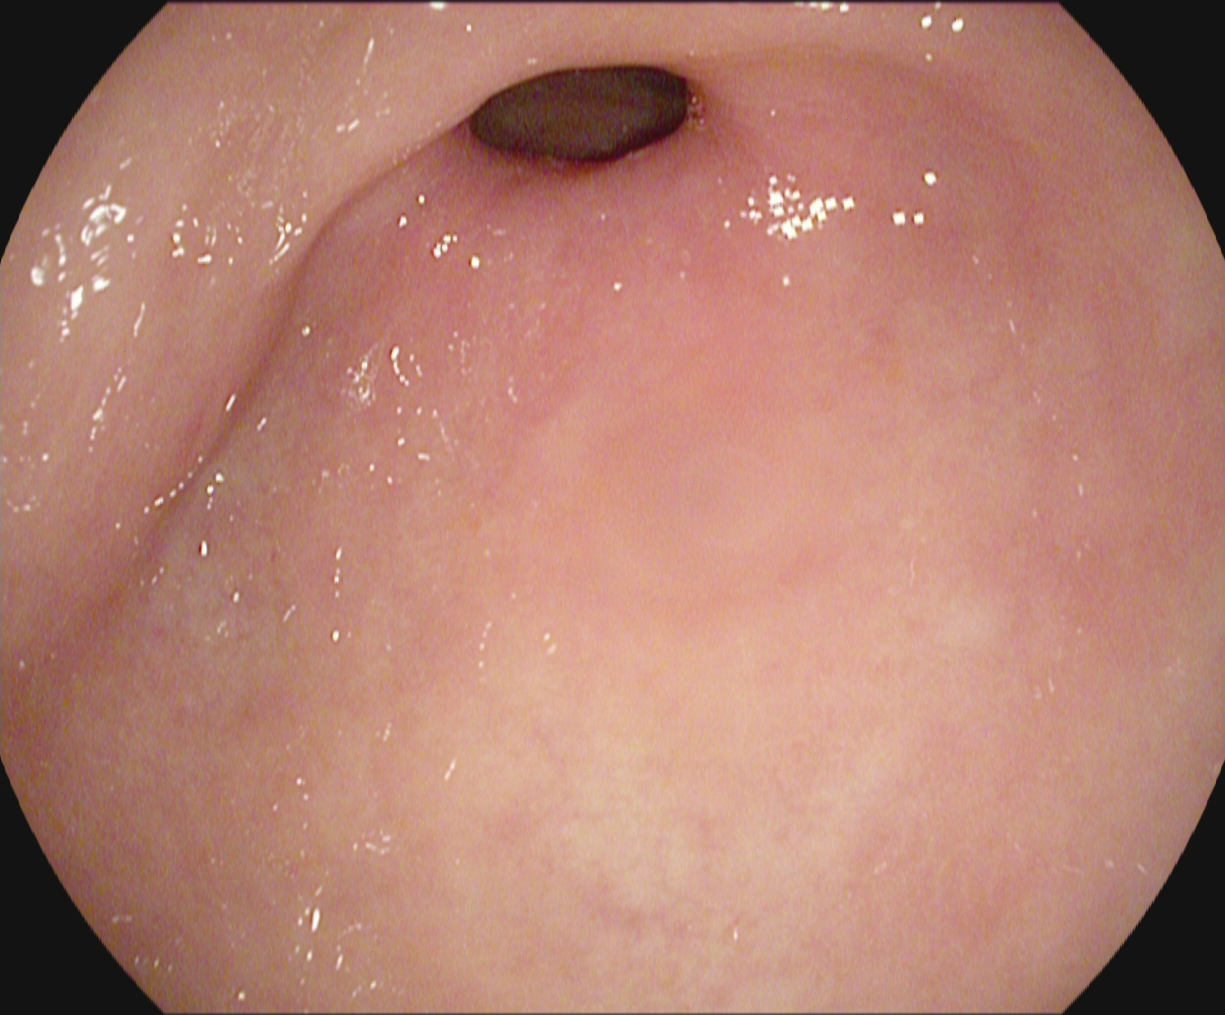{"modality": "esophagogastroduodenoscopy", "finding": "pylorus"}